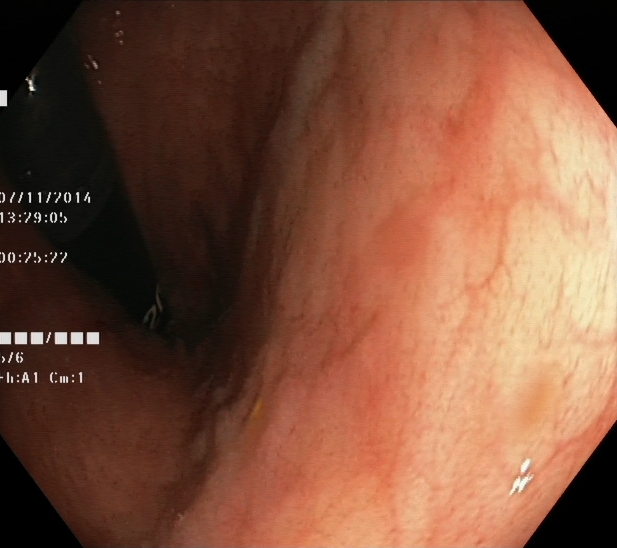PROCEDURE: Lower gastrointestinal endoscopy.
FINDINGS: Rectum in retroflexion.